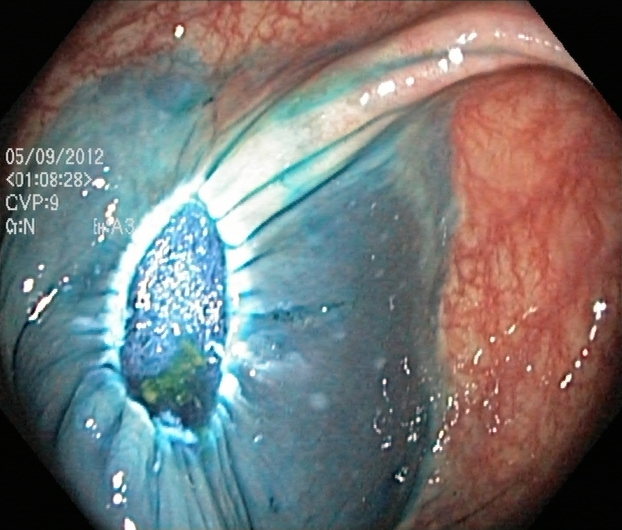This endoscopic image shows dyed resection margins (post-polypectomy).